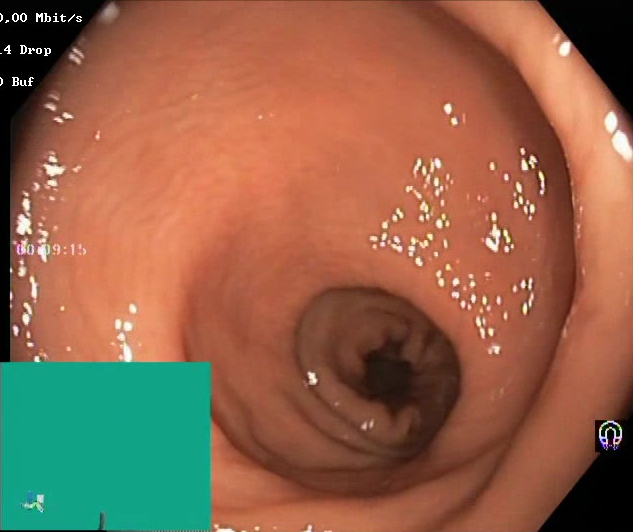Lower gastrointestinal endoscopy image of the lower GI tract showing Boston Bowel Preparation Scale score 2–3 (adequate preparation).